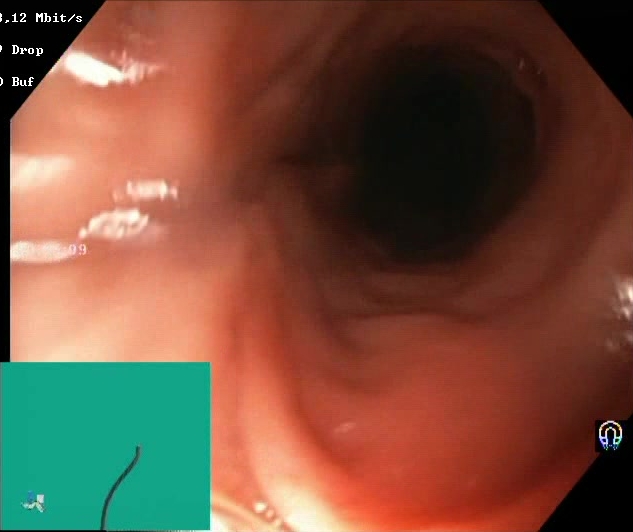Lower gastrointestinal endoscopy. Finding: Boston Bowel Preparation Scale score 2–3 (adequate preparation).